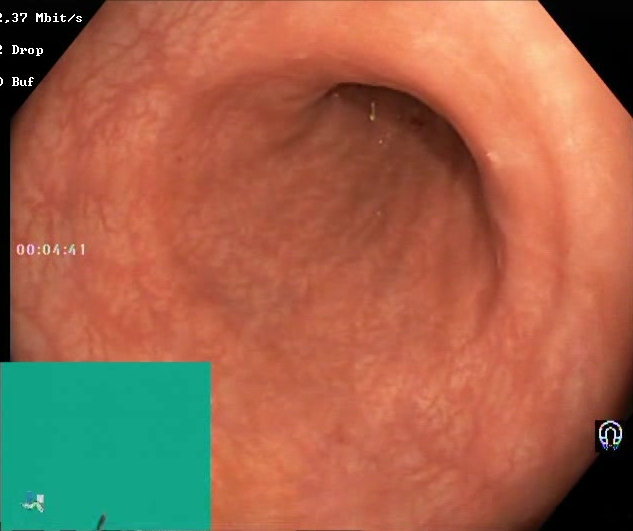PROCEDURE: Lower-GI endoscopy.
FINDINGS: Boston Bowel Preparation Scale score 2–3 (adequate preparation).